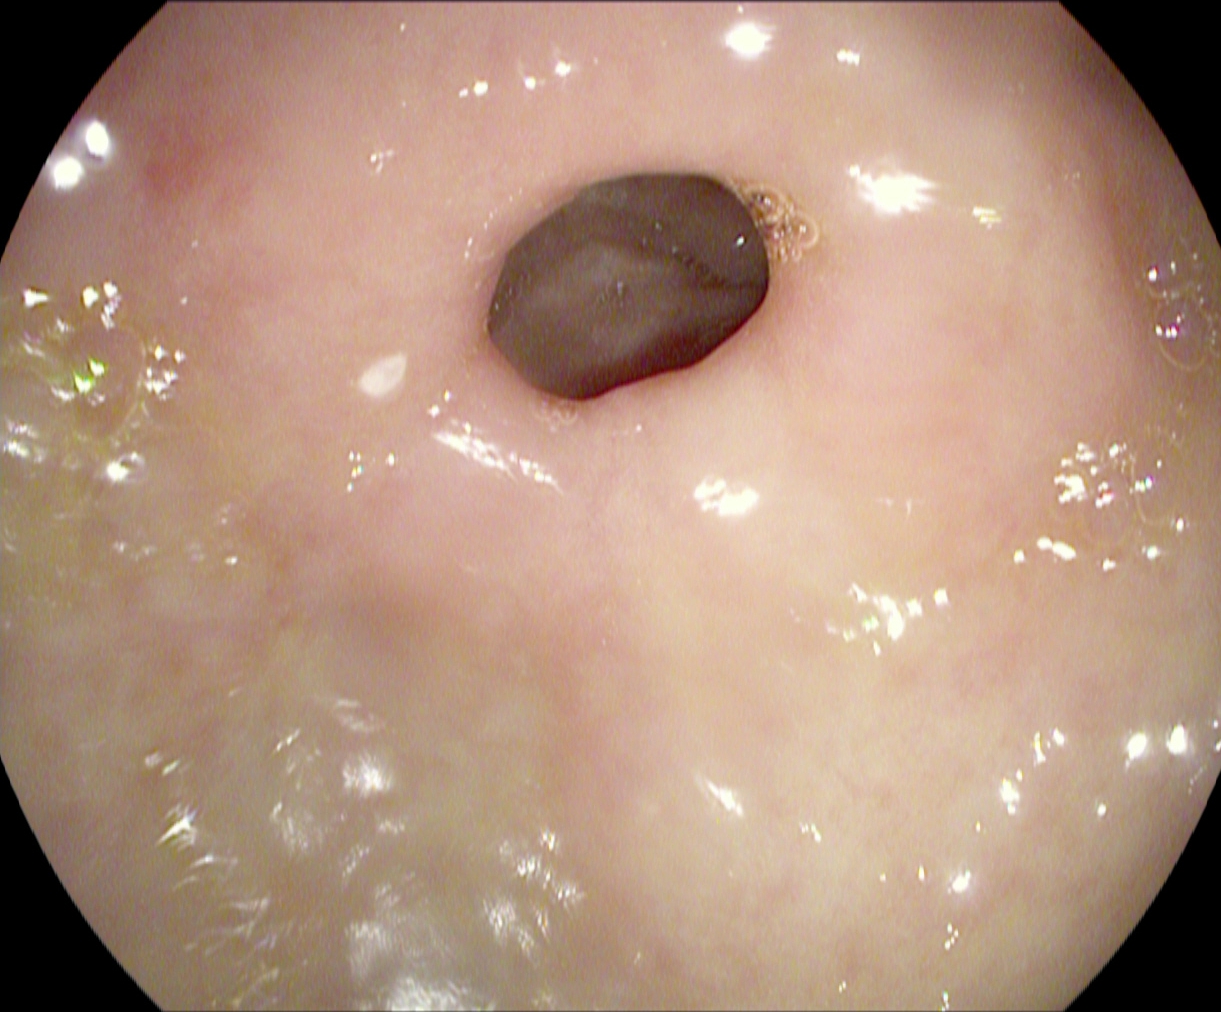Esophagogastroduodenoscopy — pylorus.